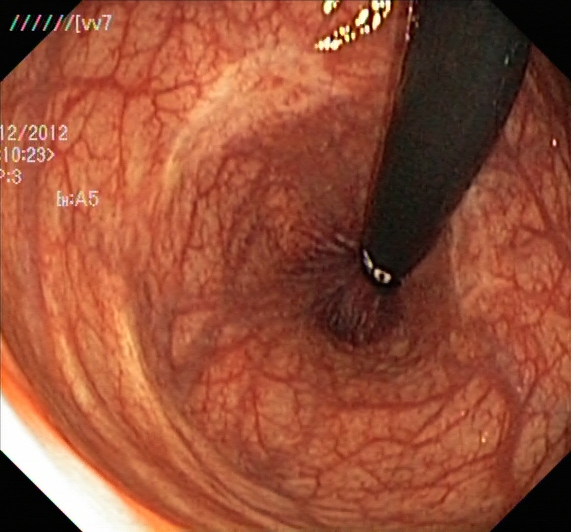Endoscopic frame showing rectum in retroflexion.